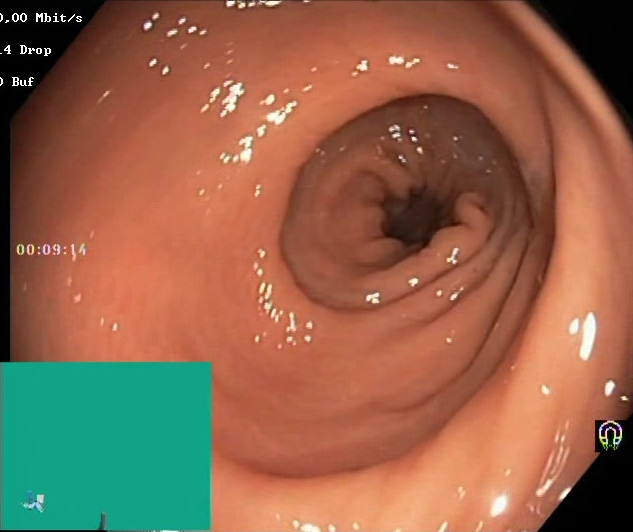This endoscopy frame of the lower GI tract shows BBPS score 2–3 (adequate preparation).